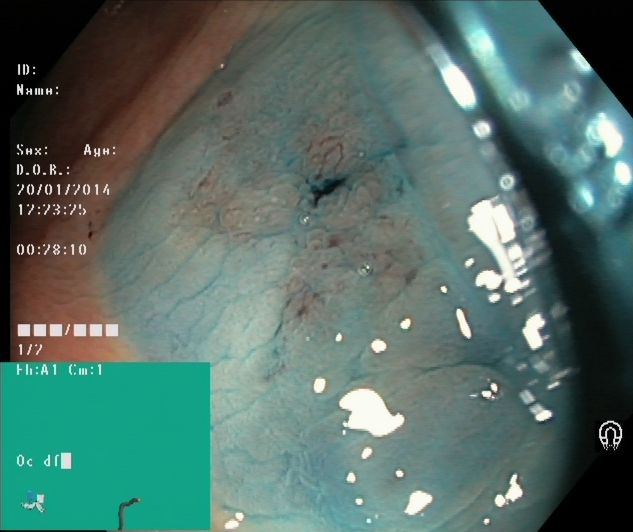Dyed resection margins (post-polypectomy).